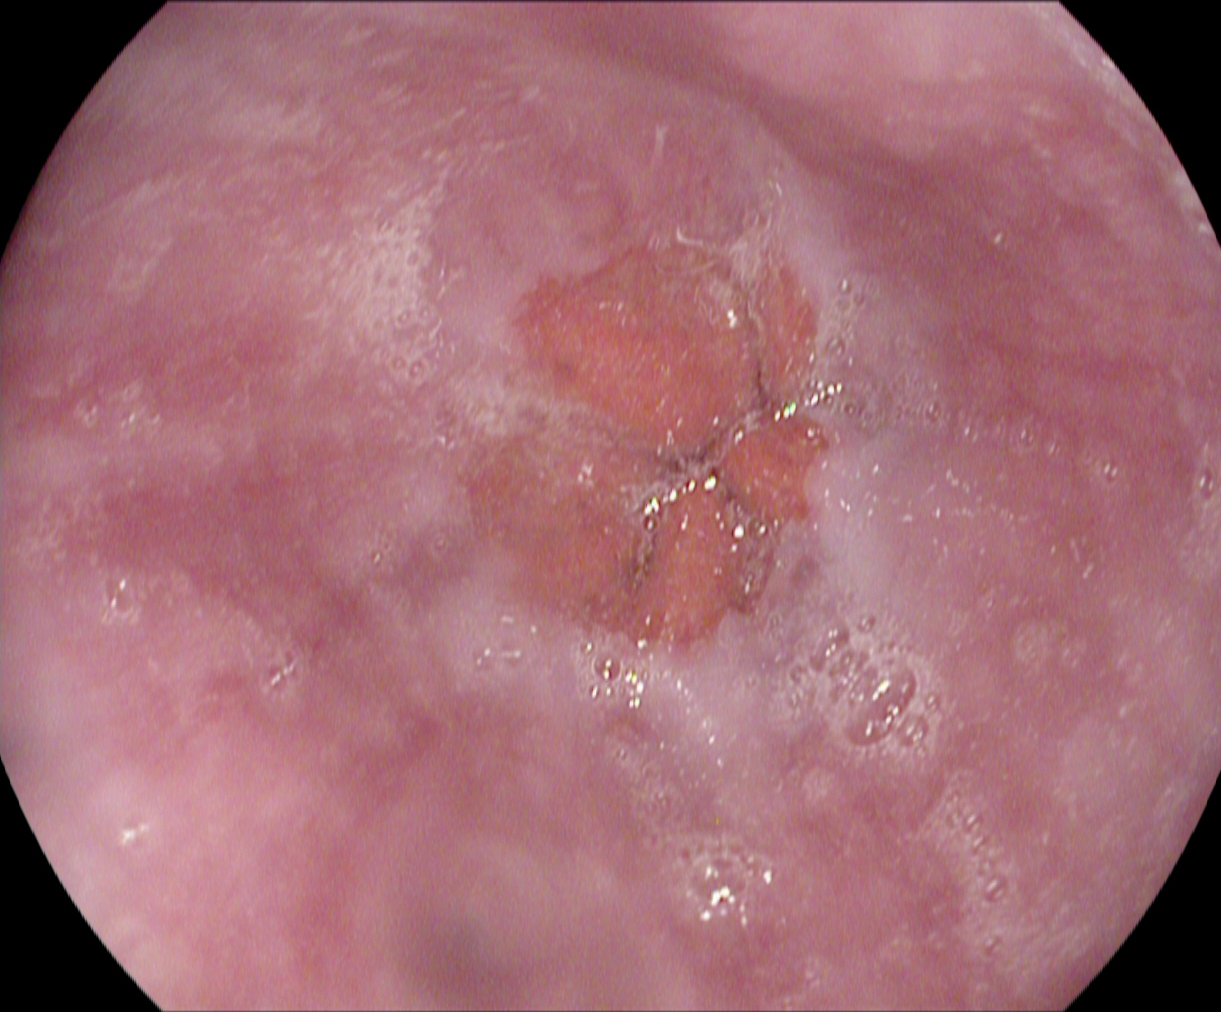Z-line (gastroesophageal junction).